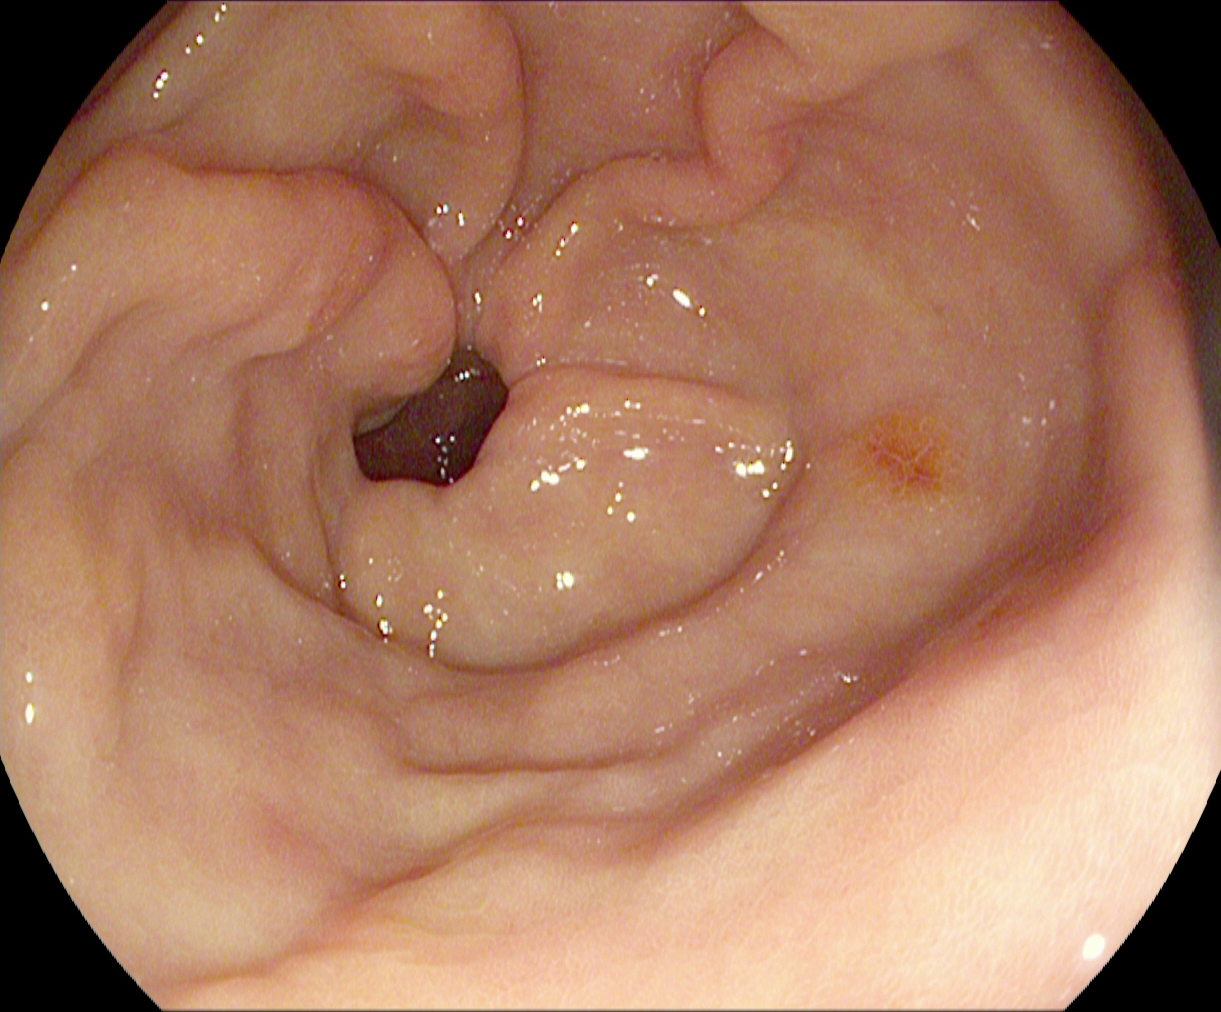{"modality": "EGD", "category": "anatomical landmark", "finding": "pylorus"}